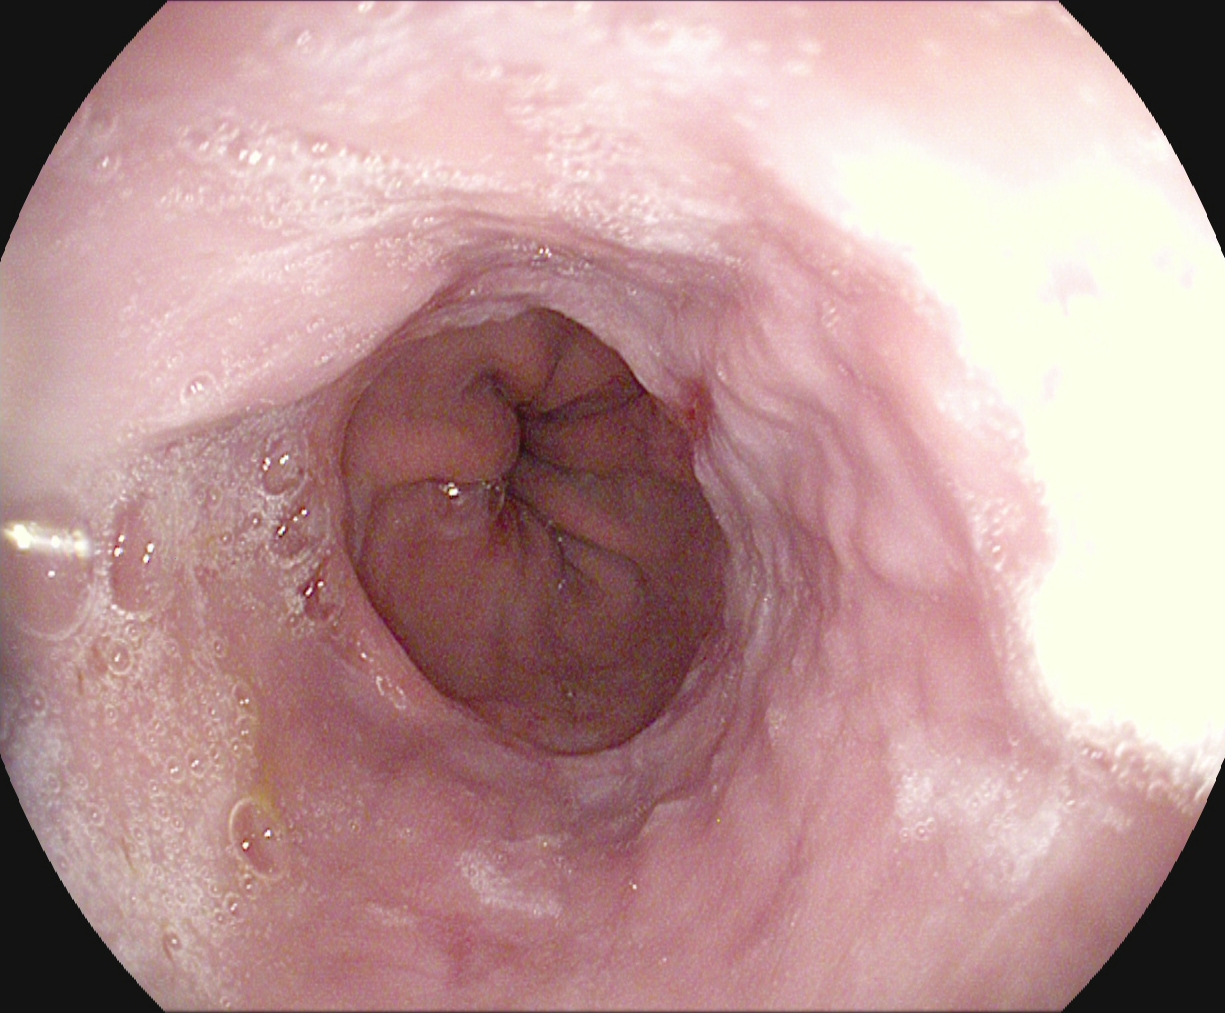Endoscopic image of the upper GI tract showing reflux esophagitis, Los Angeles grade A.